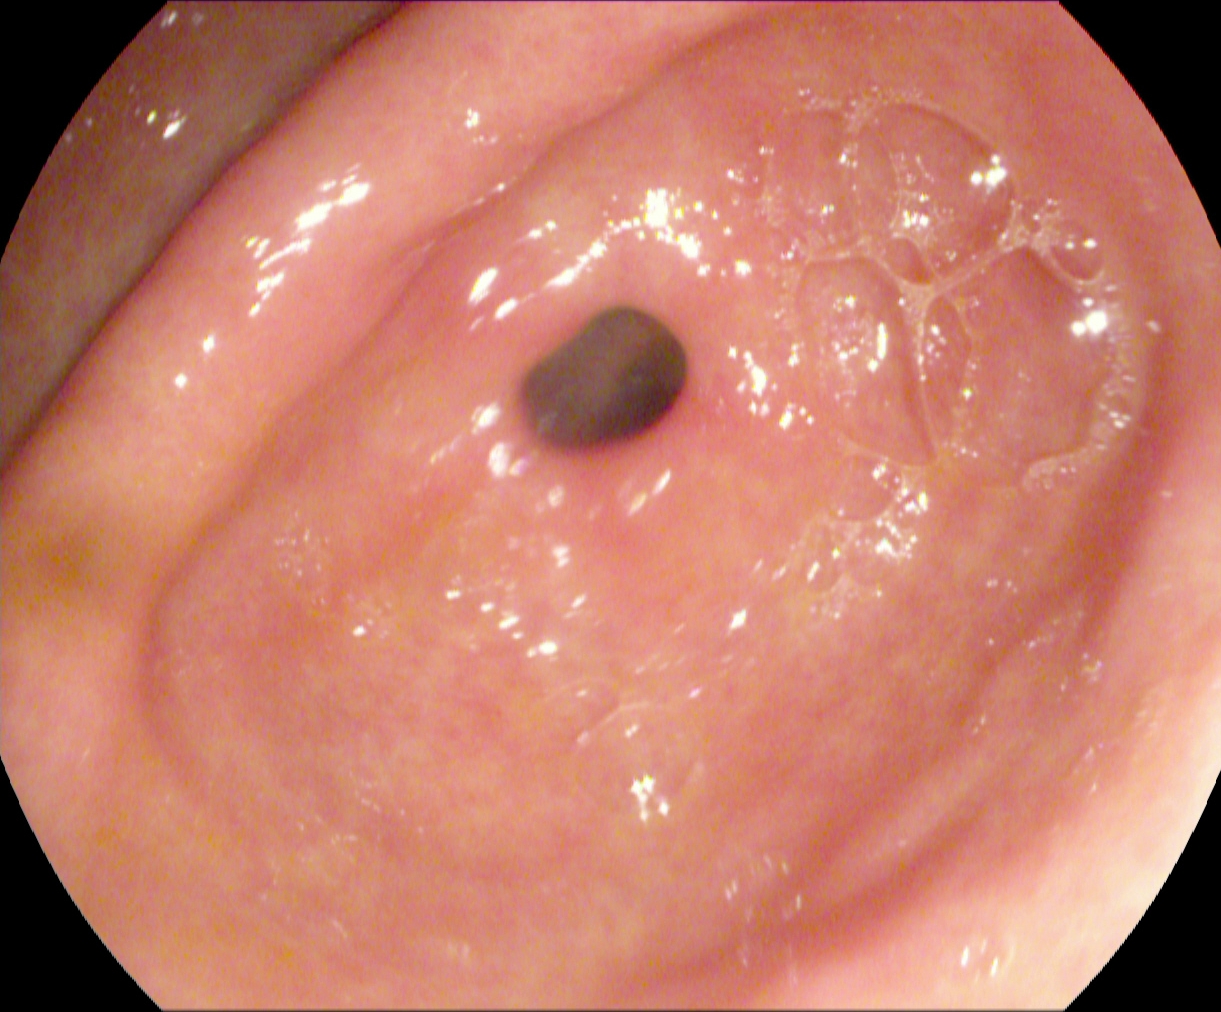pylorus.